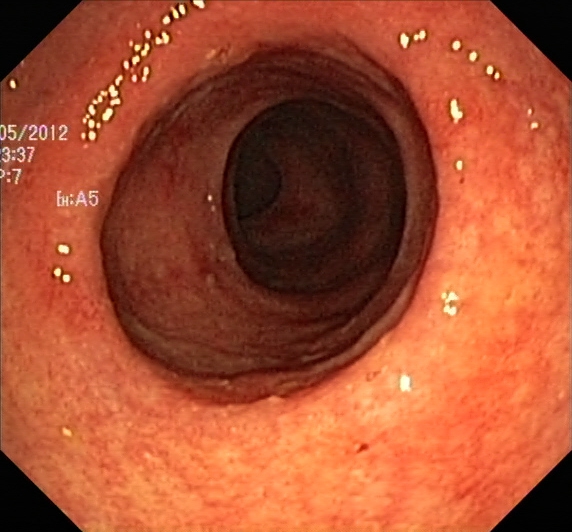Endoscopic frame of the lower GI tract showing ulcerative colitis, Mayo endoscopic subscore 1.